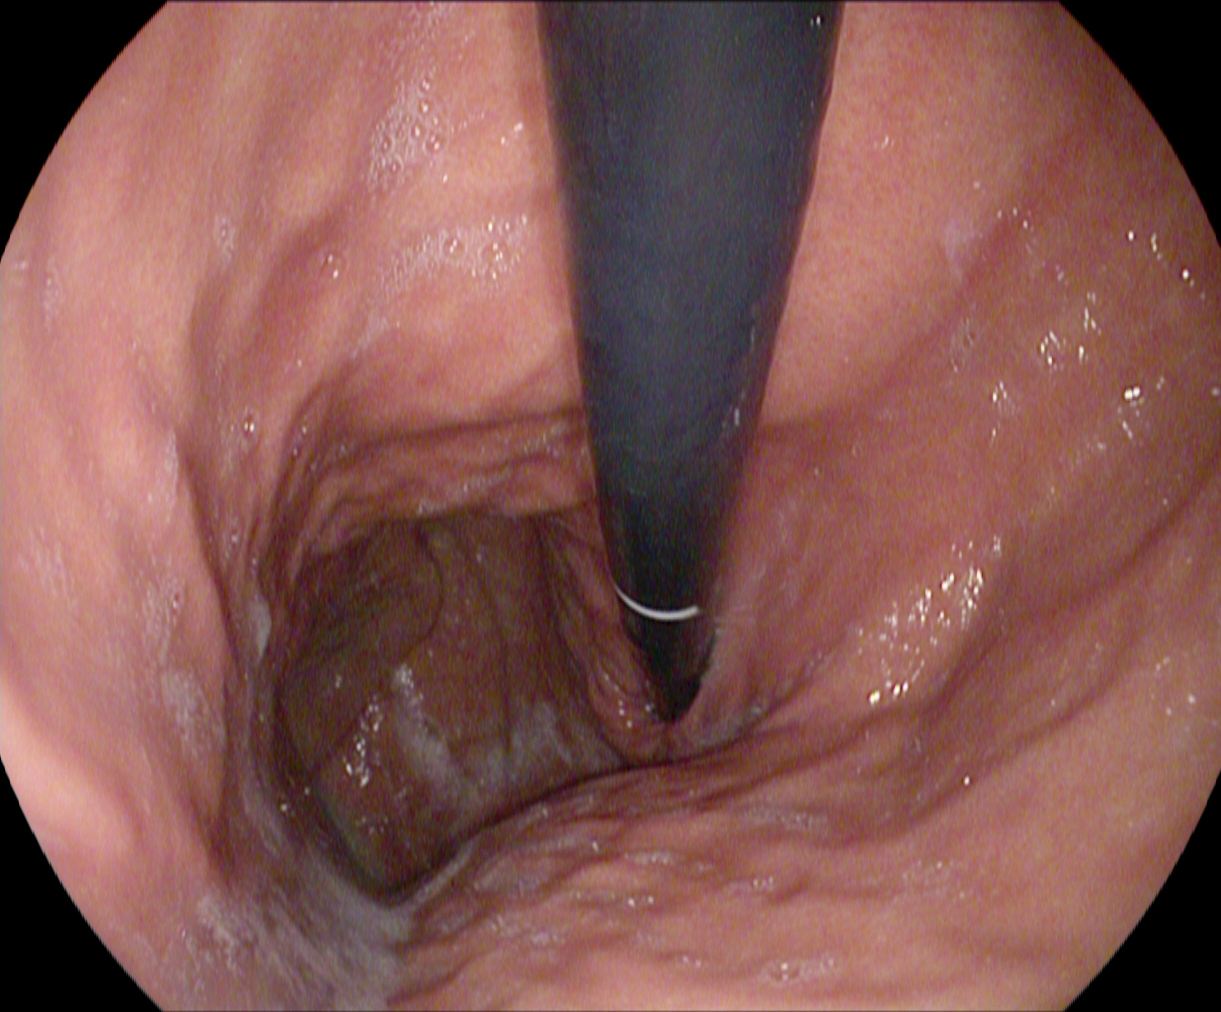Gastroscopy — stomach in retroflexion.